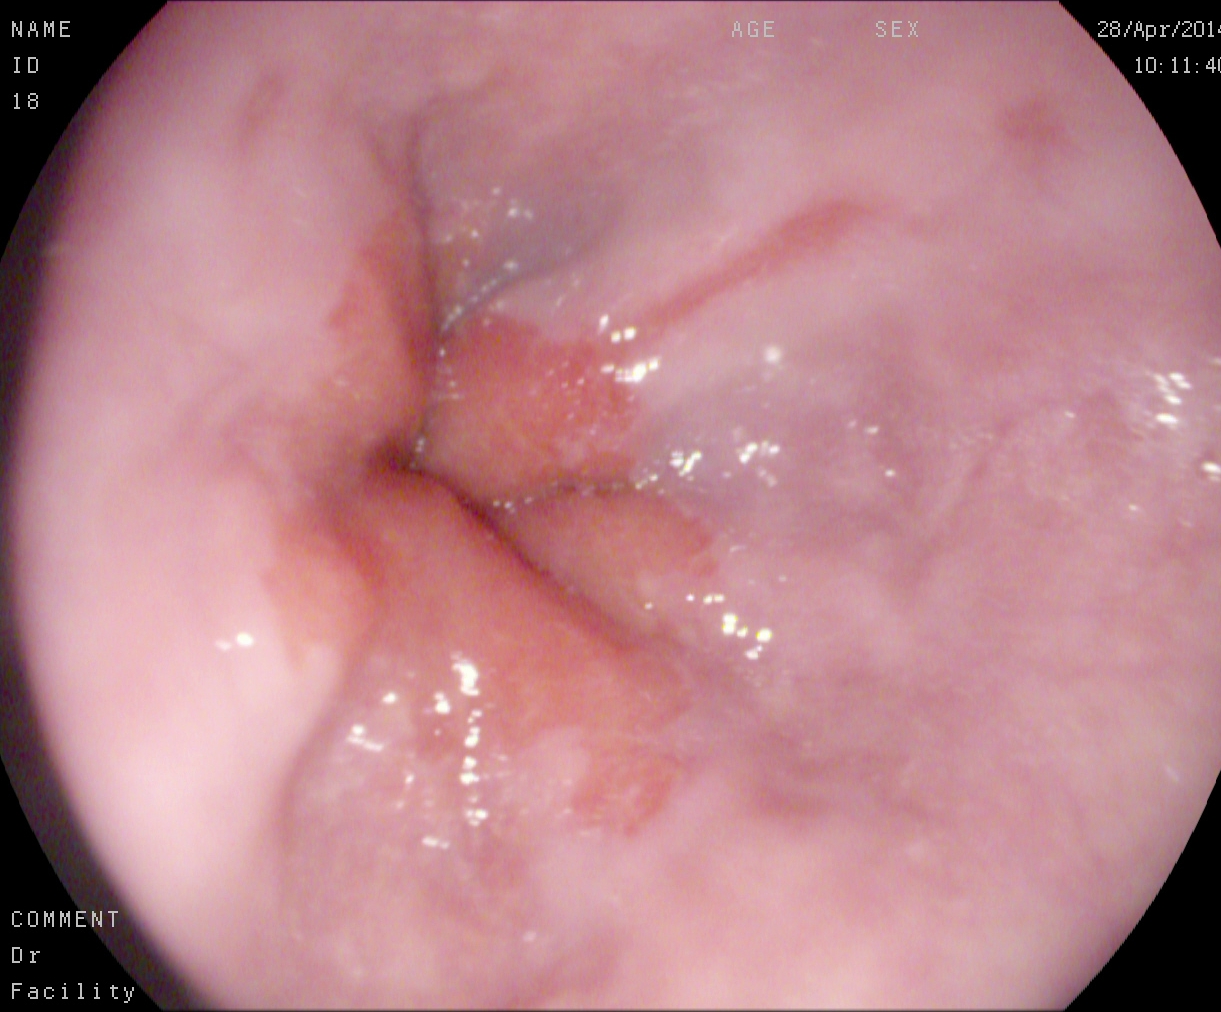modality: EGD
finding: reflux esophagitis, Los Angeles grade A